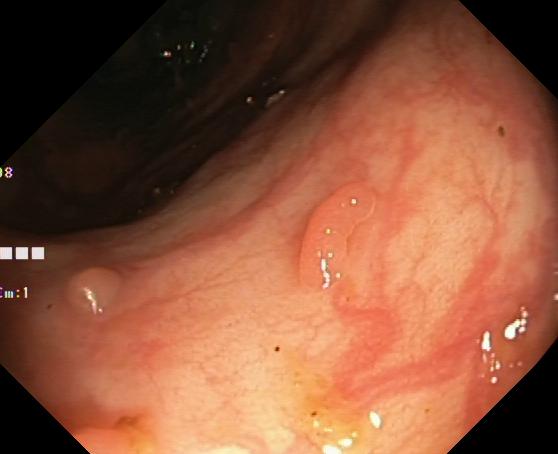Colorectal polyp(s).